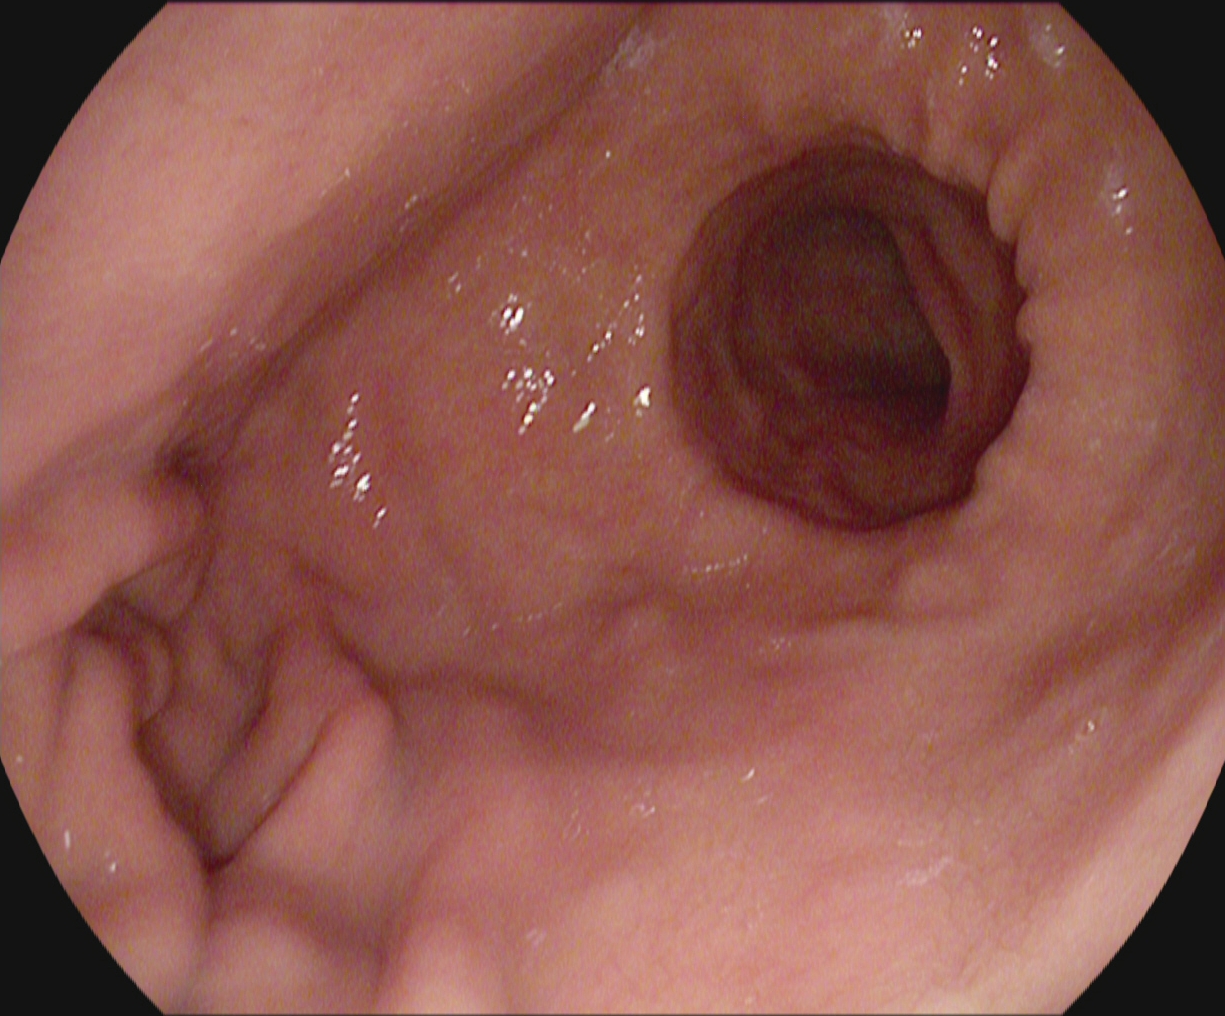Gastroscopy. Tract: upper GI tract. Anatomical landmark. Finding: pylorus.